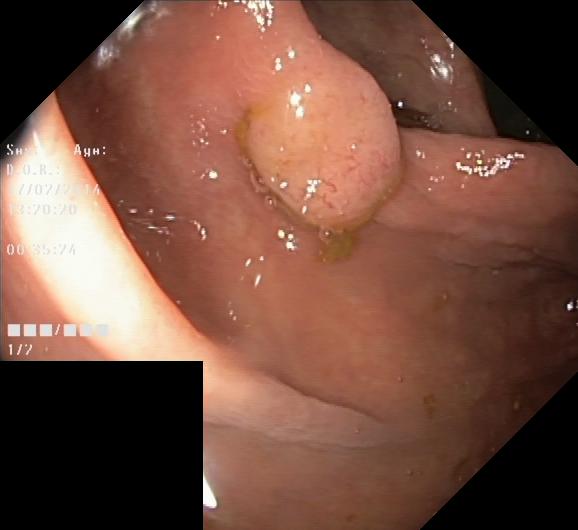{"modality": "lower gastrointestinal endoscopy", "tract": "lower GI tract", "category": "pathological finding", "finding": "colorectal polyp(s)"}